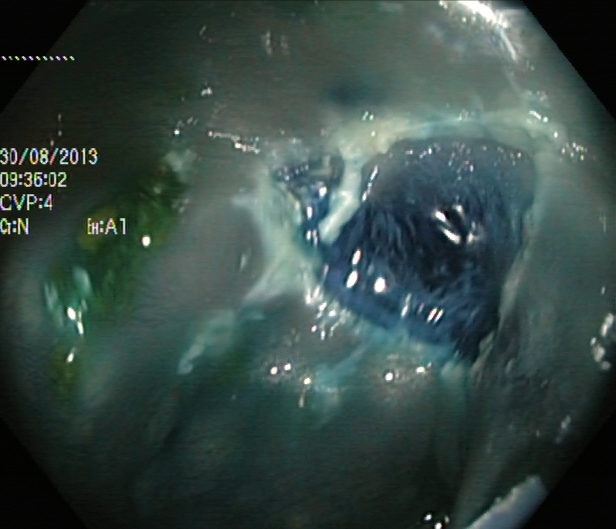This endoscopy frame shows dyed resection margins (post-polypectomy).